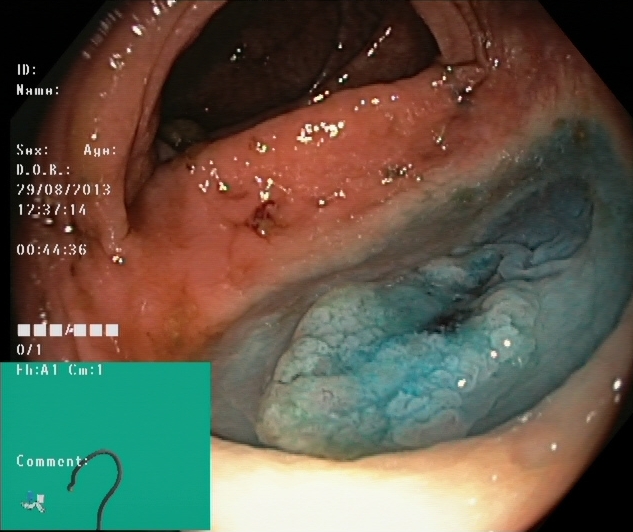modality: lower gastrointestinal endoscopy
category: therapeutic intervention
finding: dyed and lifted polyp (pre-resection)